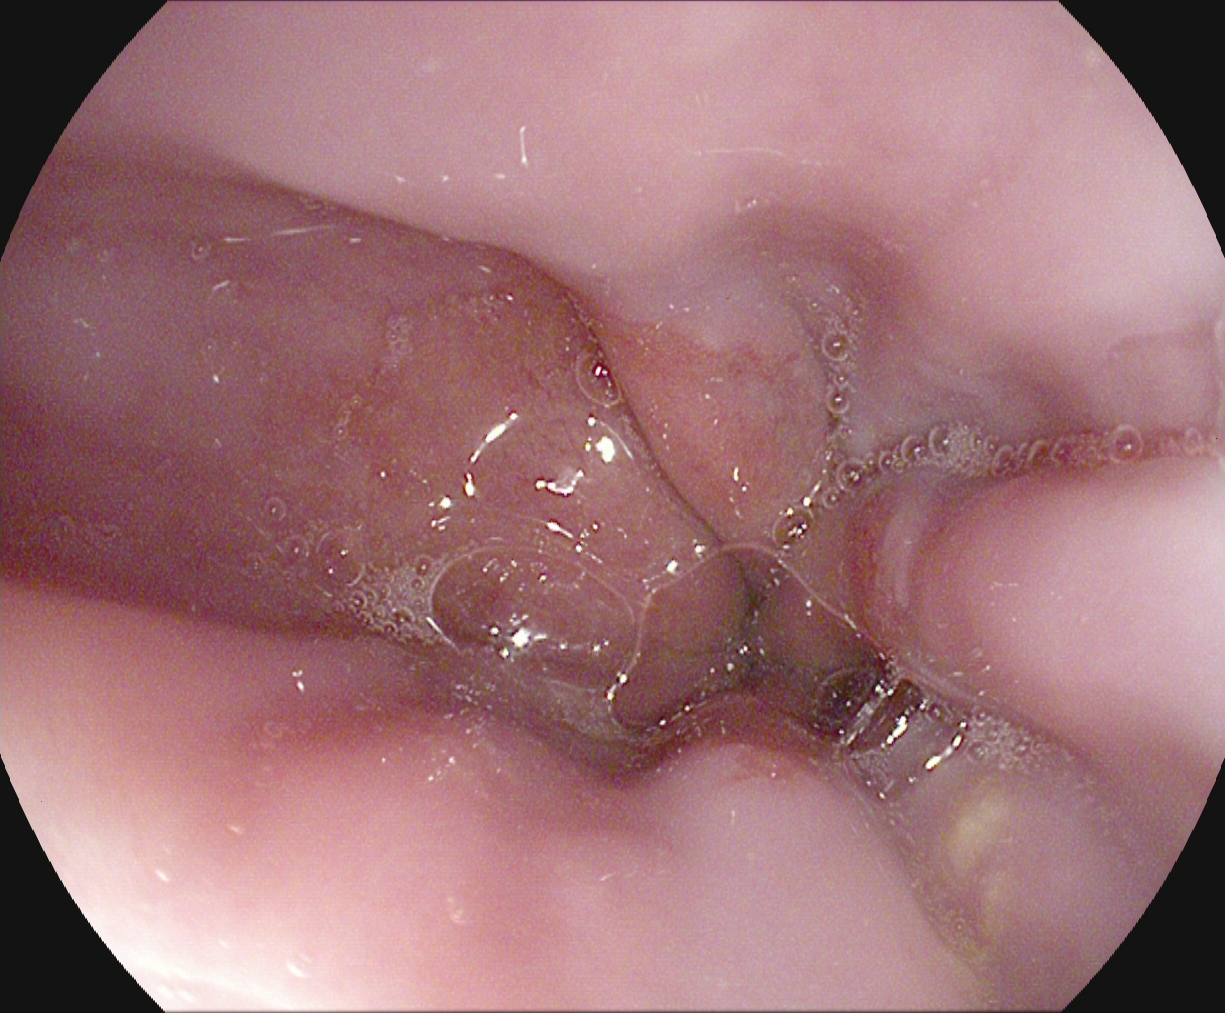EGD — Z-line (gastroesophageal junction).